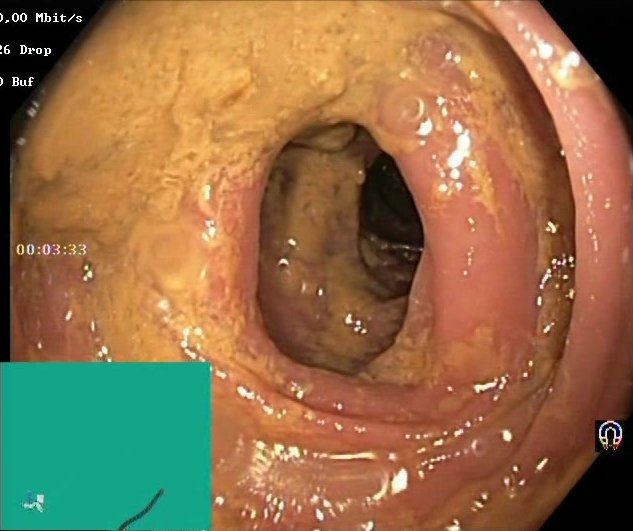This endoscopic image of the lower GI tract shows Boston Bowel Preparation Scale score 0–1 (inadequate preparation).